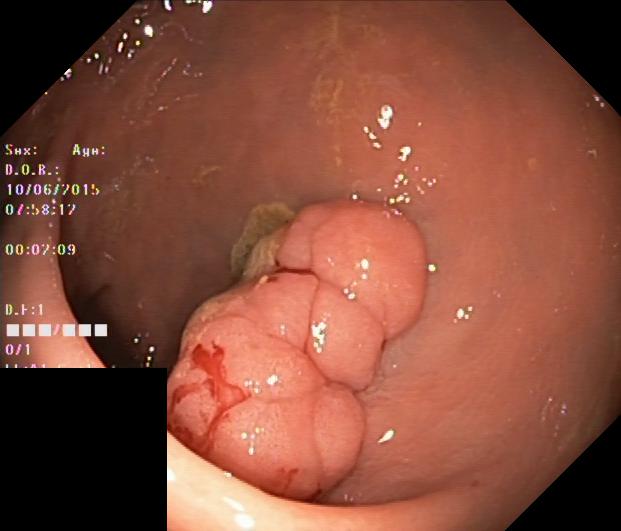modality: colonoscopy
finding: colorectal polyp(s)